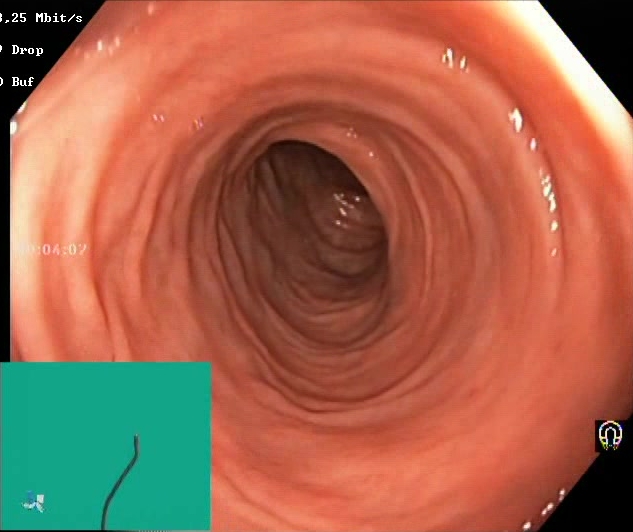PROCEDURE: Lower-GI endoscopy.
FINDINGS: BBPS score 2–3 (adequate preparation).